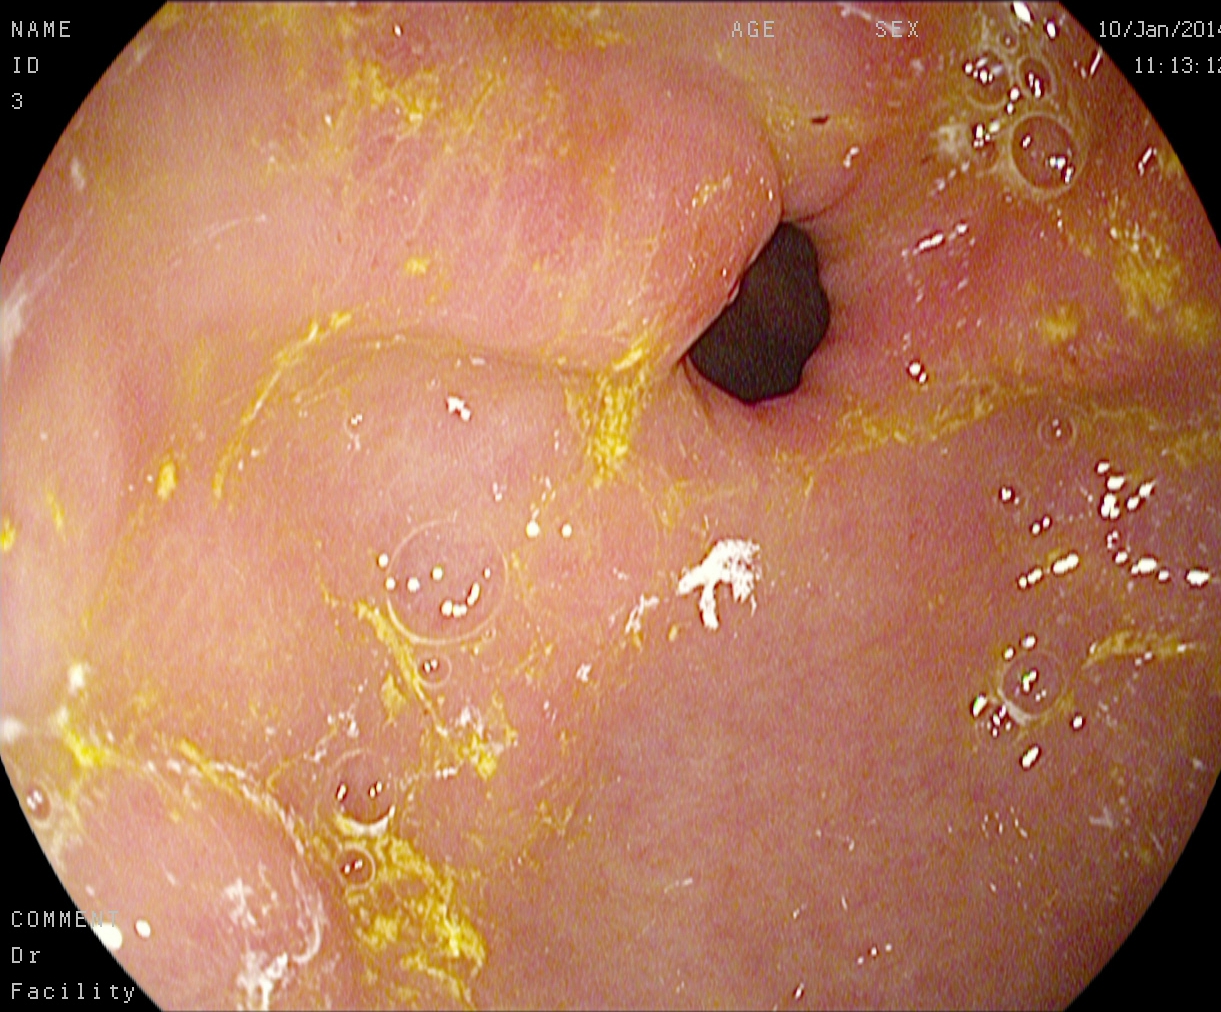{"modality": "EGD", "tract": "upper GI tract", "category": "anatomical landmark", "finding": "pylorus"}